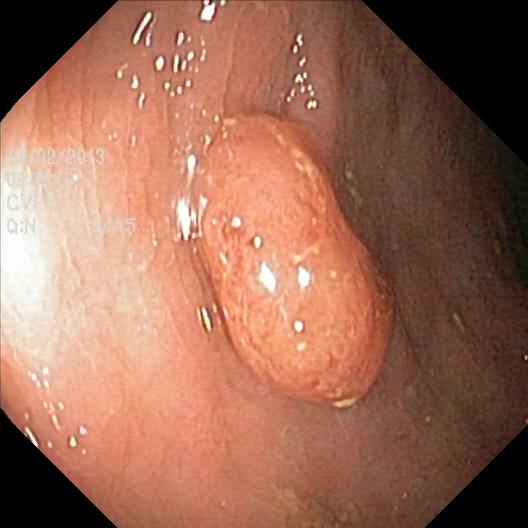Endoscopic frame of the lower GI tract showing colorectal polyp(s).